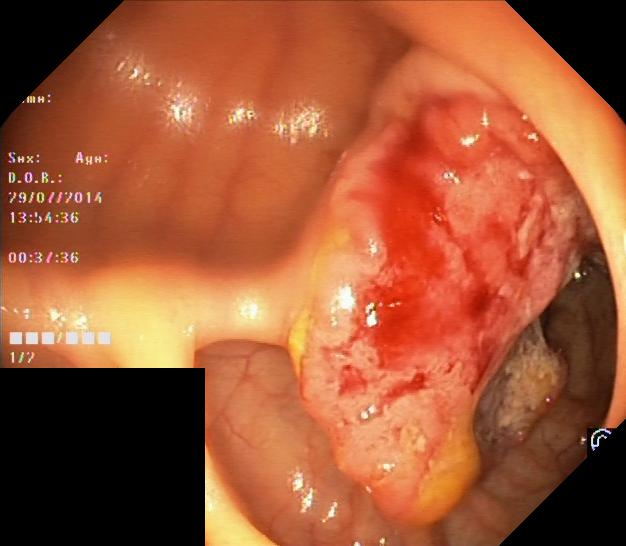This endoscopic image of the lower GI tract shows colorectal polyp(s).